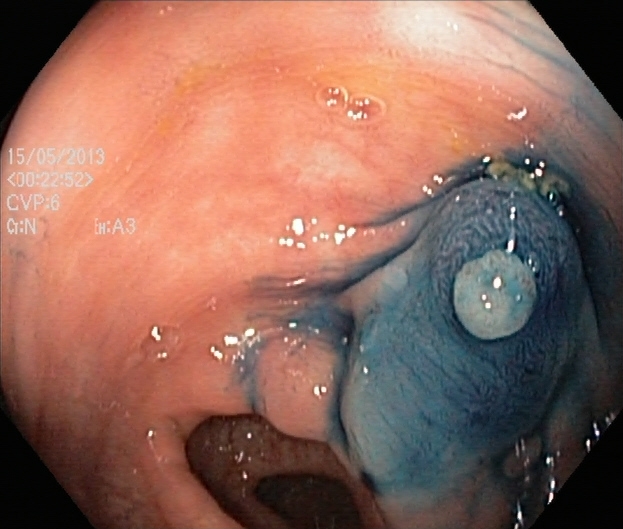Endoscopic frame showing dyed and lifted polyp (pre-resection).